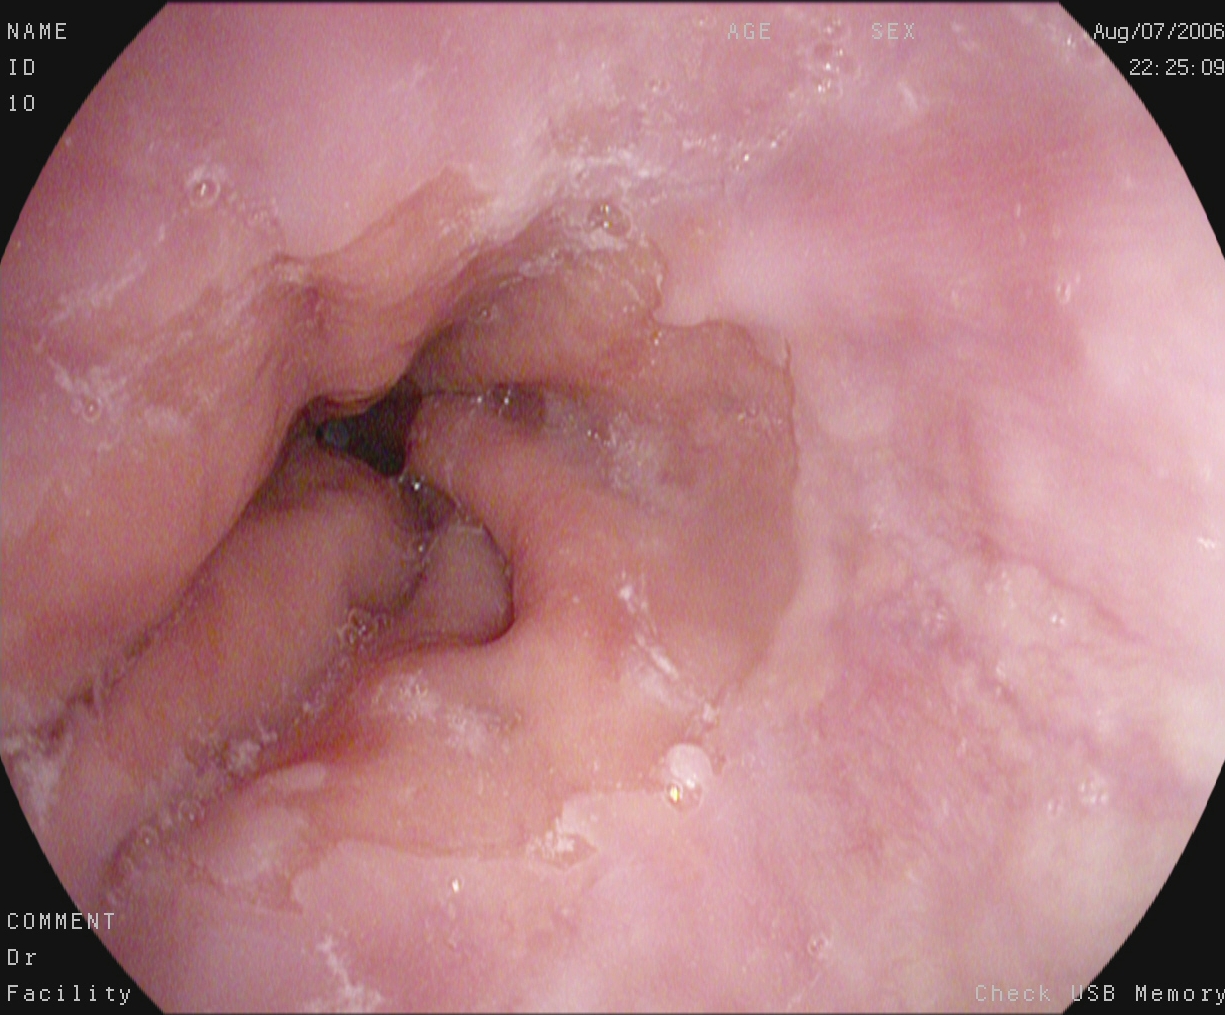GI endoscopy image of the upper GI tract showing Z-line (gastroesophageal junction).